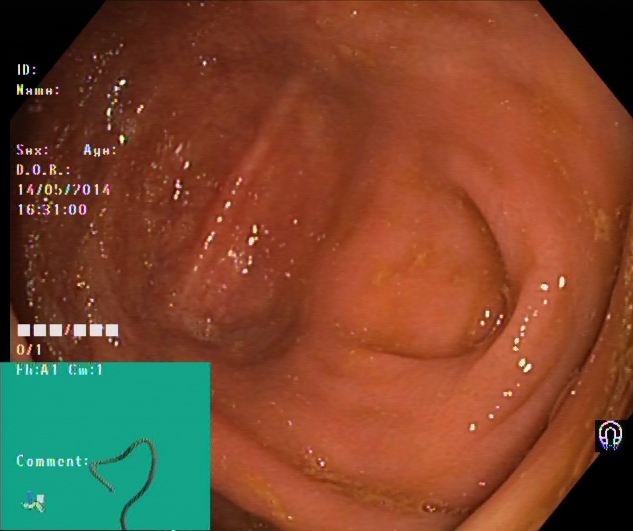This endoscopy frame of the lower GI tract shows cecum.